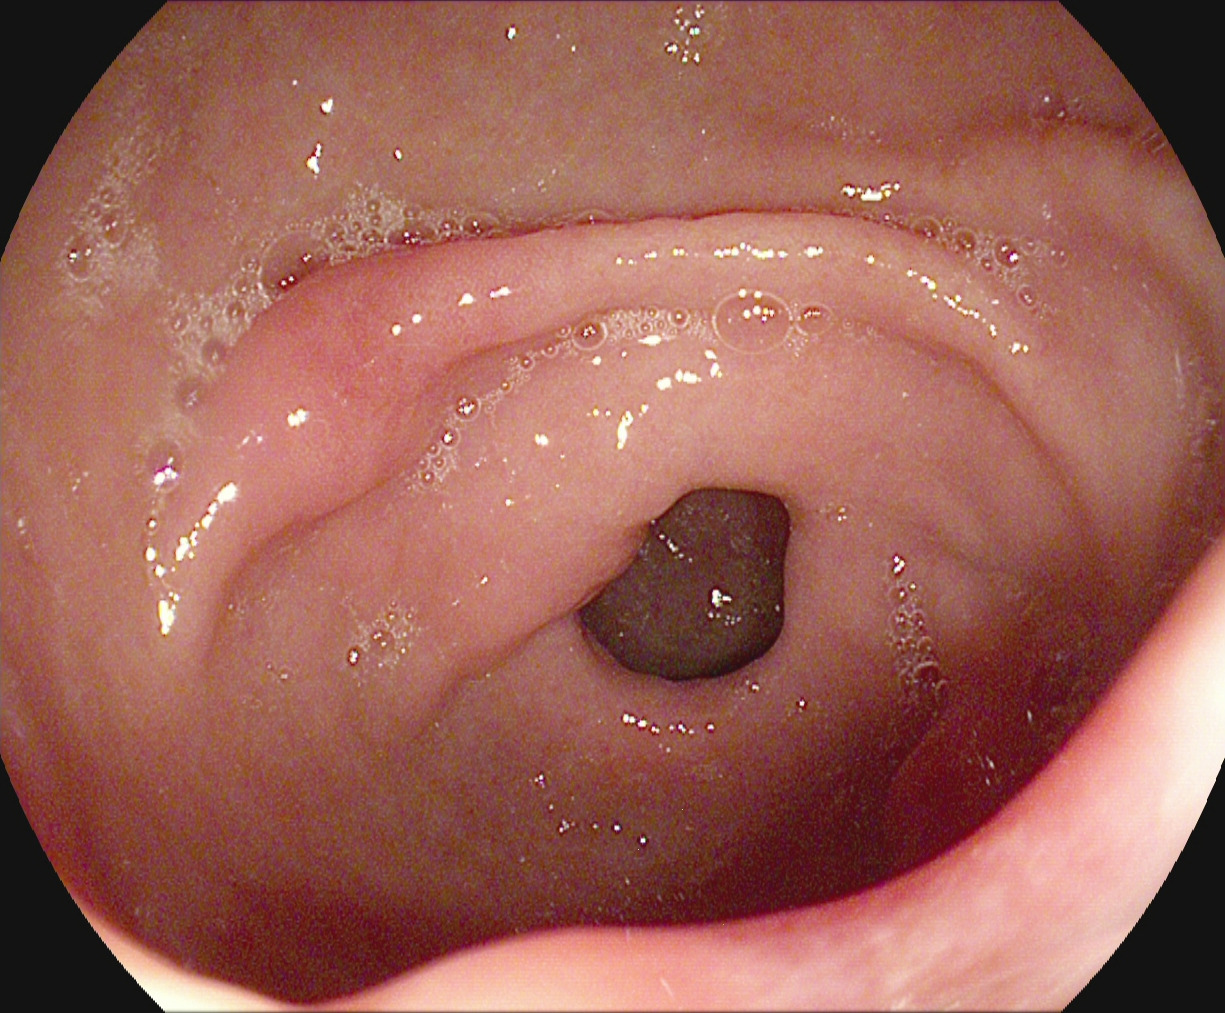Upper-GI endoscopy. Tract: upper GI tract. Finding: pylorus.